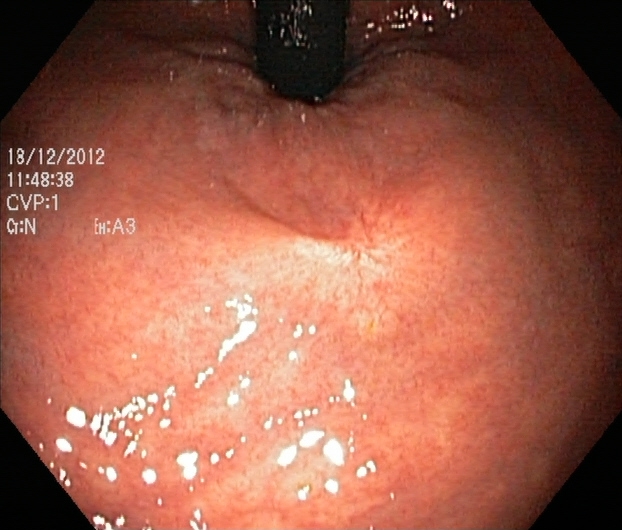PROCEDURE: Colonoscopy.
CATEGORY: Anatomical landmark.
FINDINGS: Rectum in retroflexion.